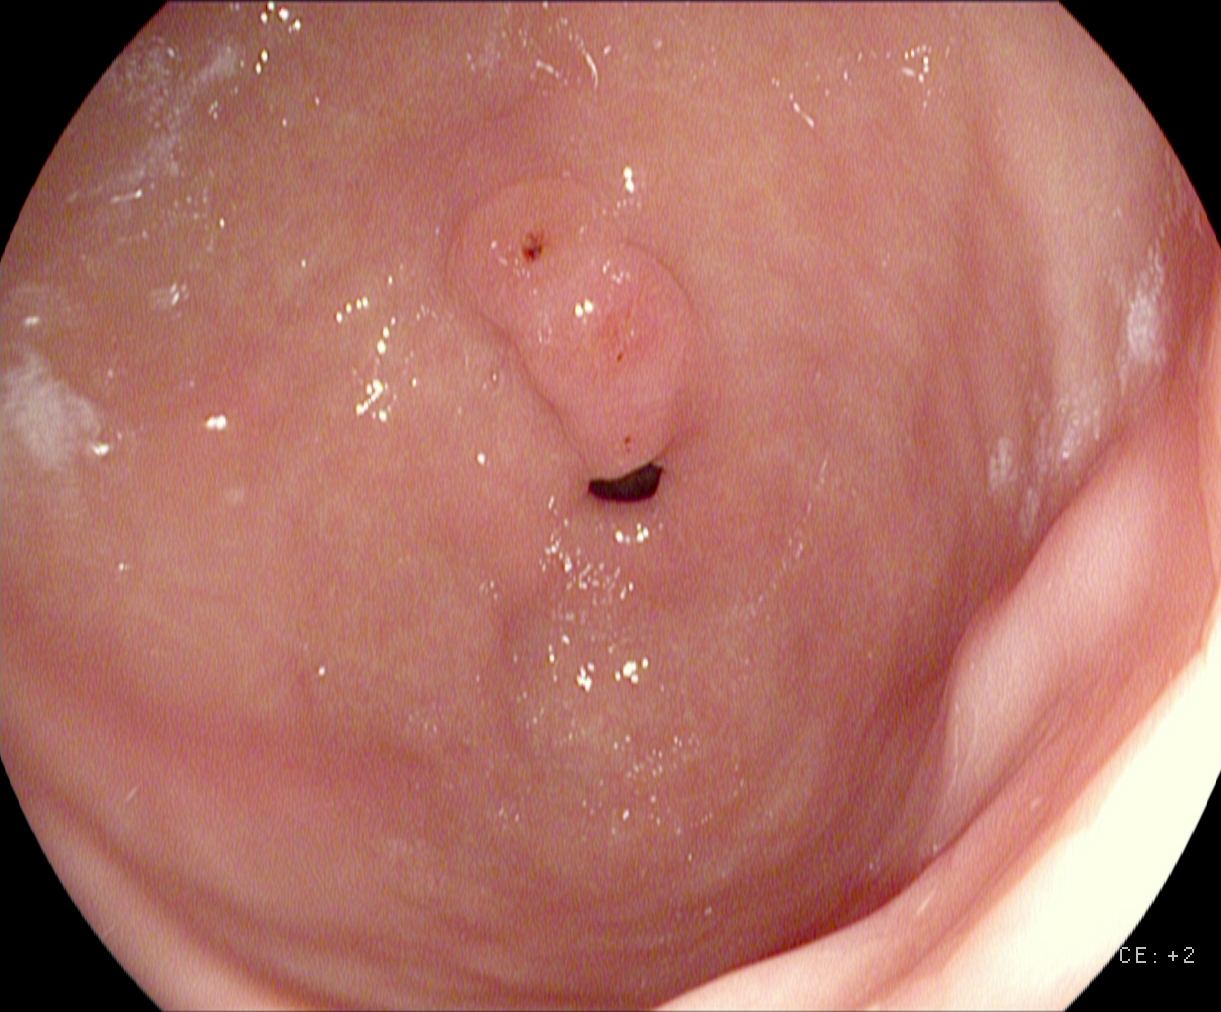{"modality": "upper-GI endoscopy", "category": "anatomical landmark", "finding": "pylorus"}